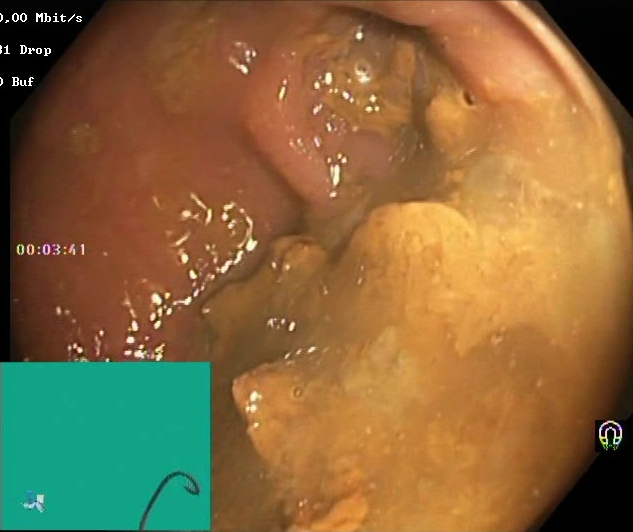{"modality": "colonoscopy", "tract": "lower GI tract", "finding": "BBPS score 0\u20131 (inadequate preparation)"}